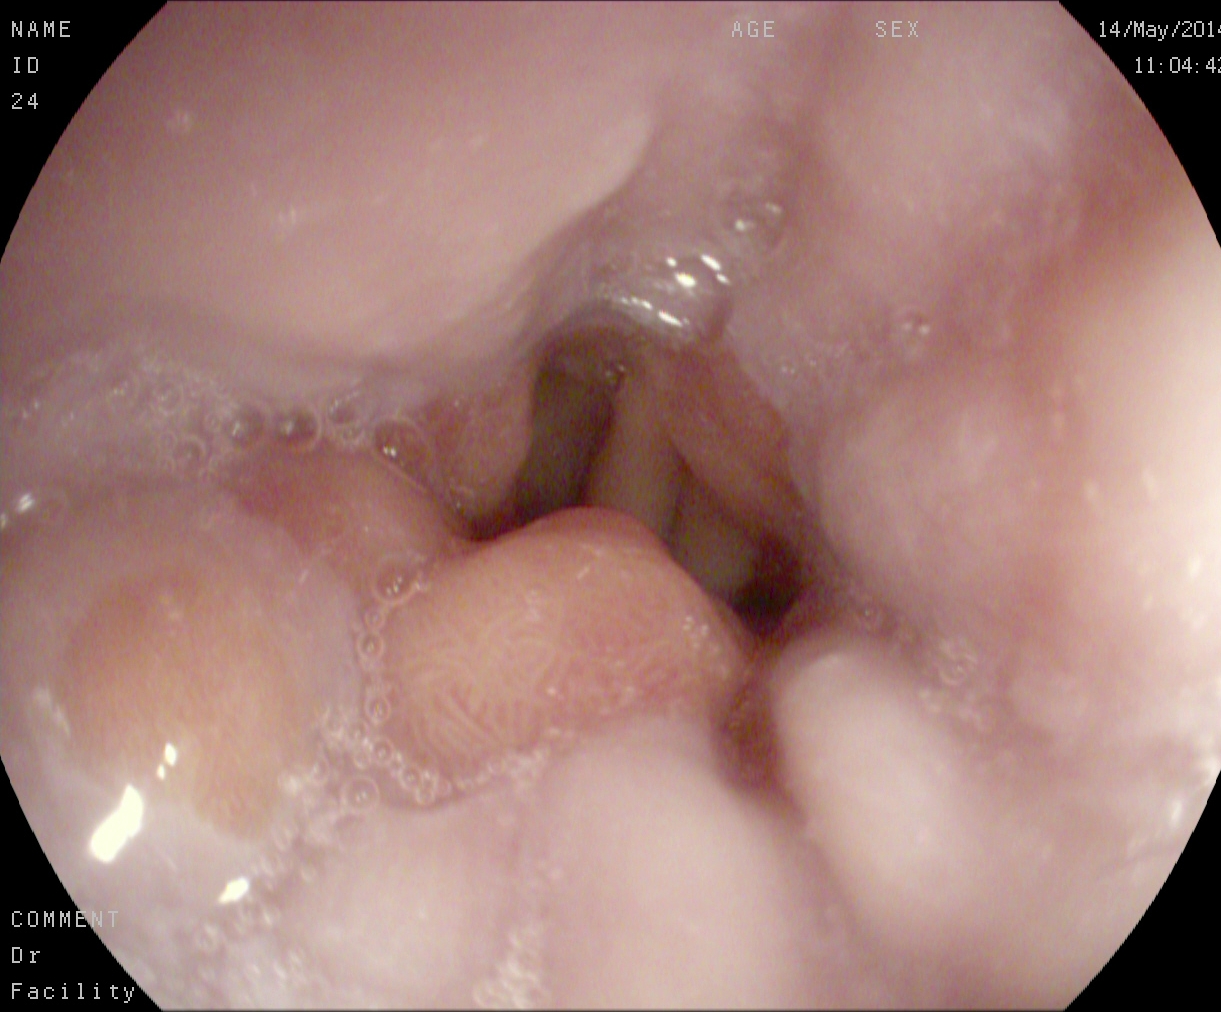Z-line (gastroesophageal junction).